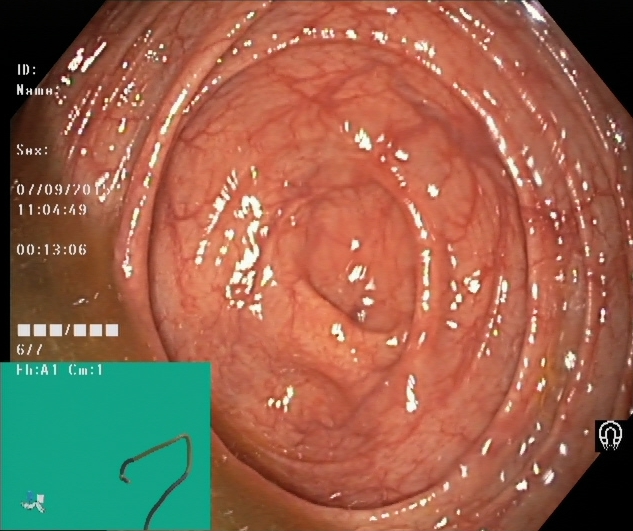GI endoscopy image of the lower GI tract showing cecum.